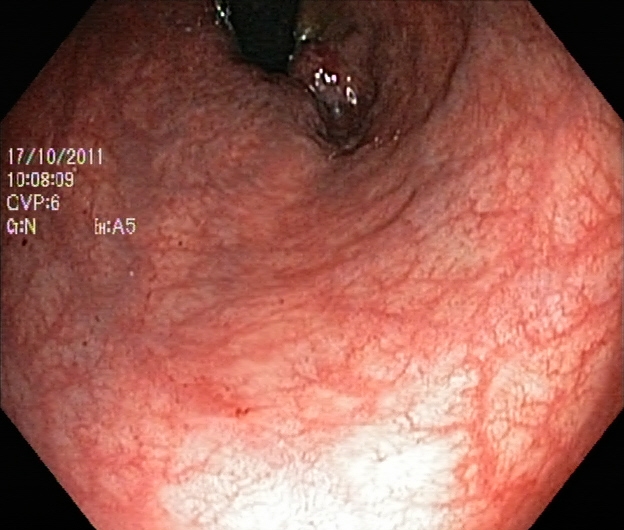PROCEDURE: Lower-GI endoscopy.
FINDINGS: Rectum in retroflexion.